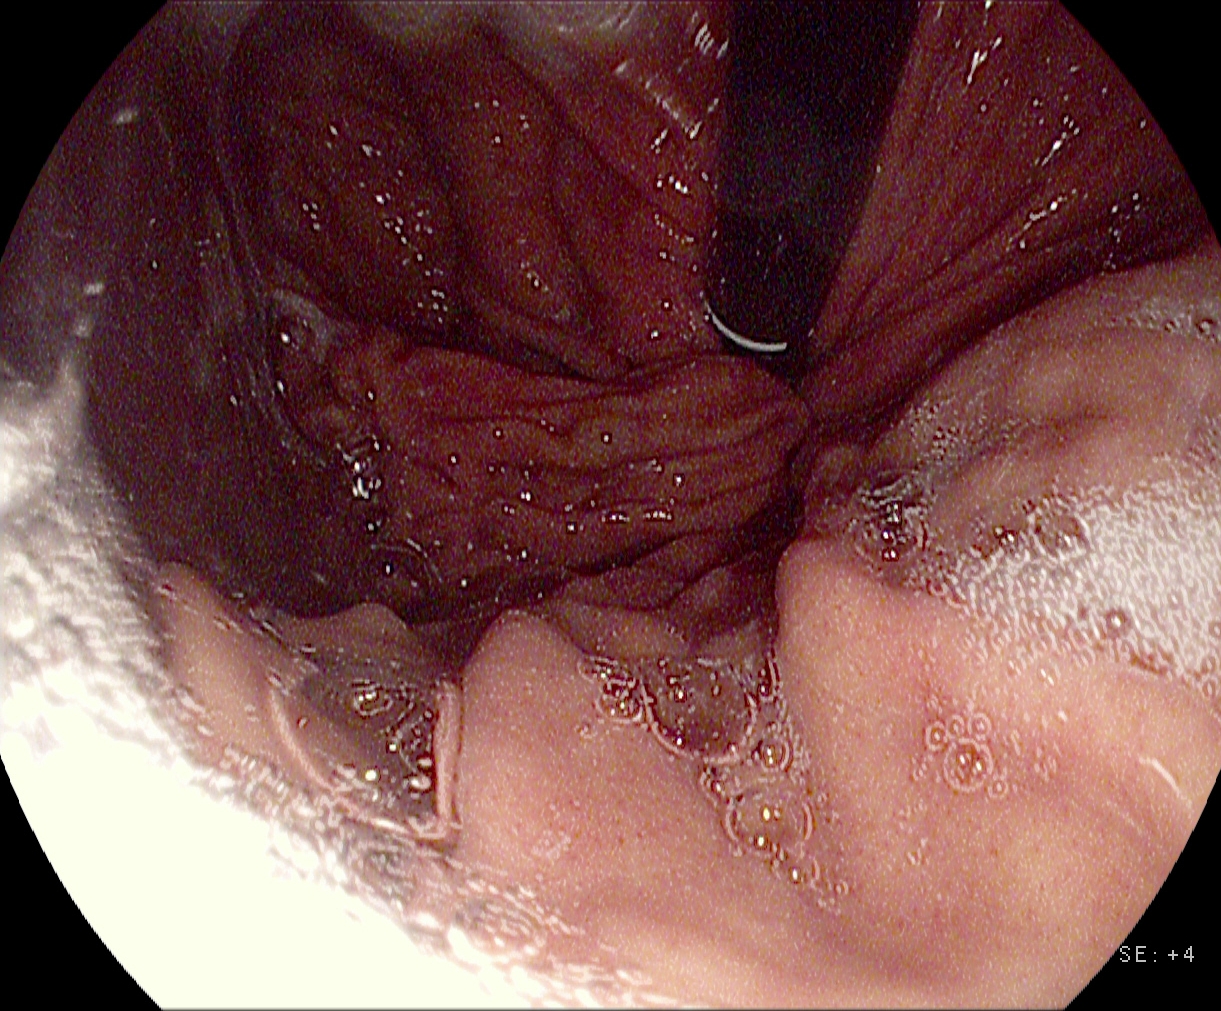EGD — stomach in retroflexion.